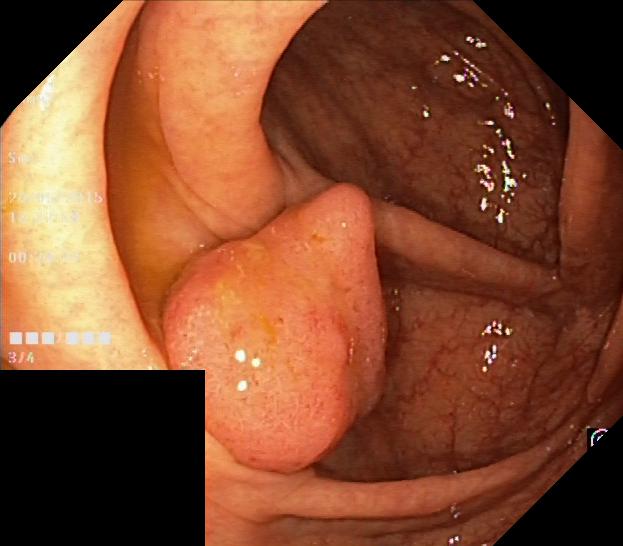This endoscopic image shows colorectal polyp(s).